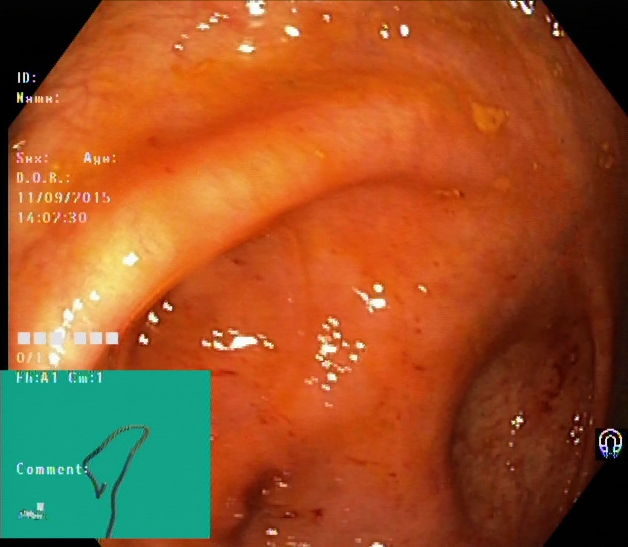Lower gastrointestinal endoscopy. Tract: lower GI tract. Finding: cecum.